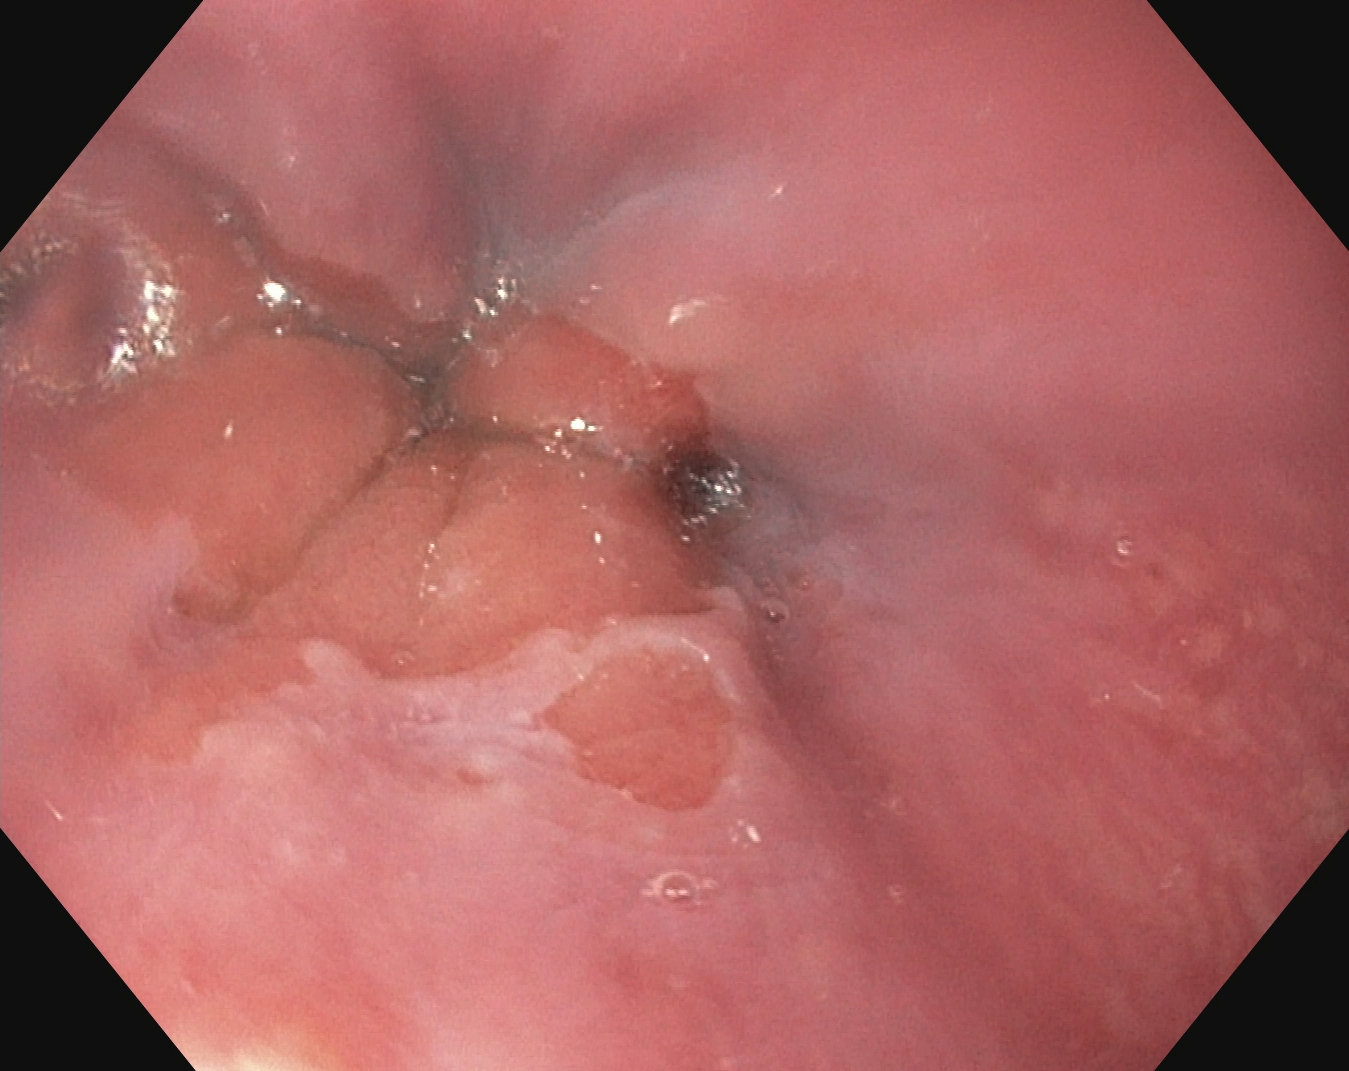{"modality": "esophagogastroduodenoscopy", "finding": "Z-line (gastroesophageal junction)"}